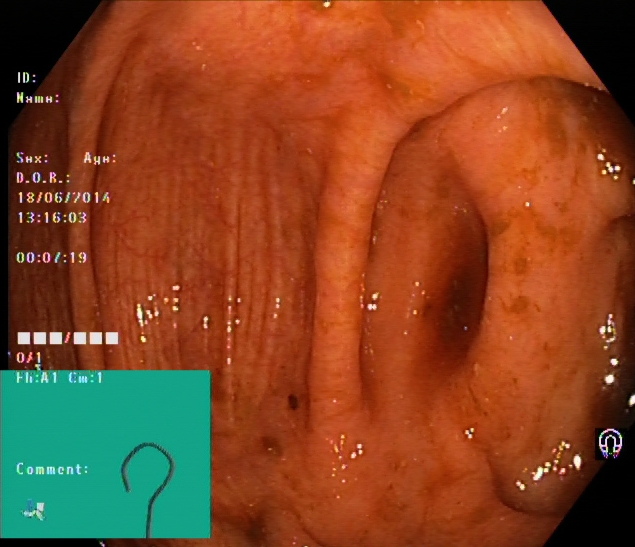PROCEDURE: Colonoscopy.
FINDINGS: Cecum.